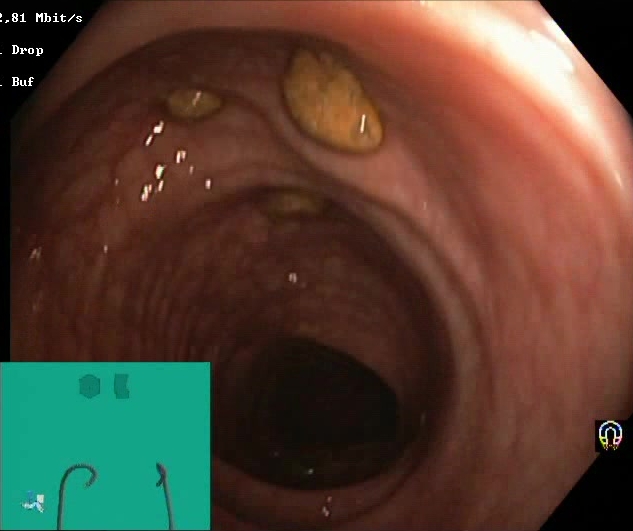{"modality": "colonoscopy", "finding": "impacted stool"}